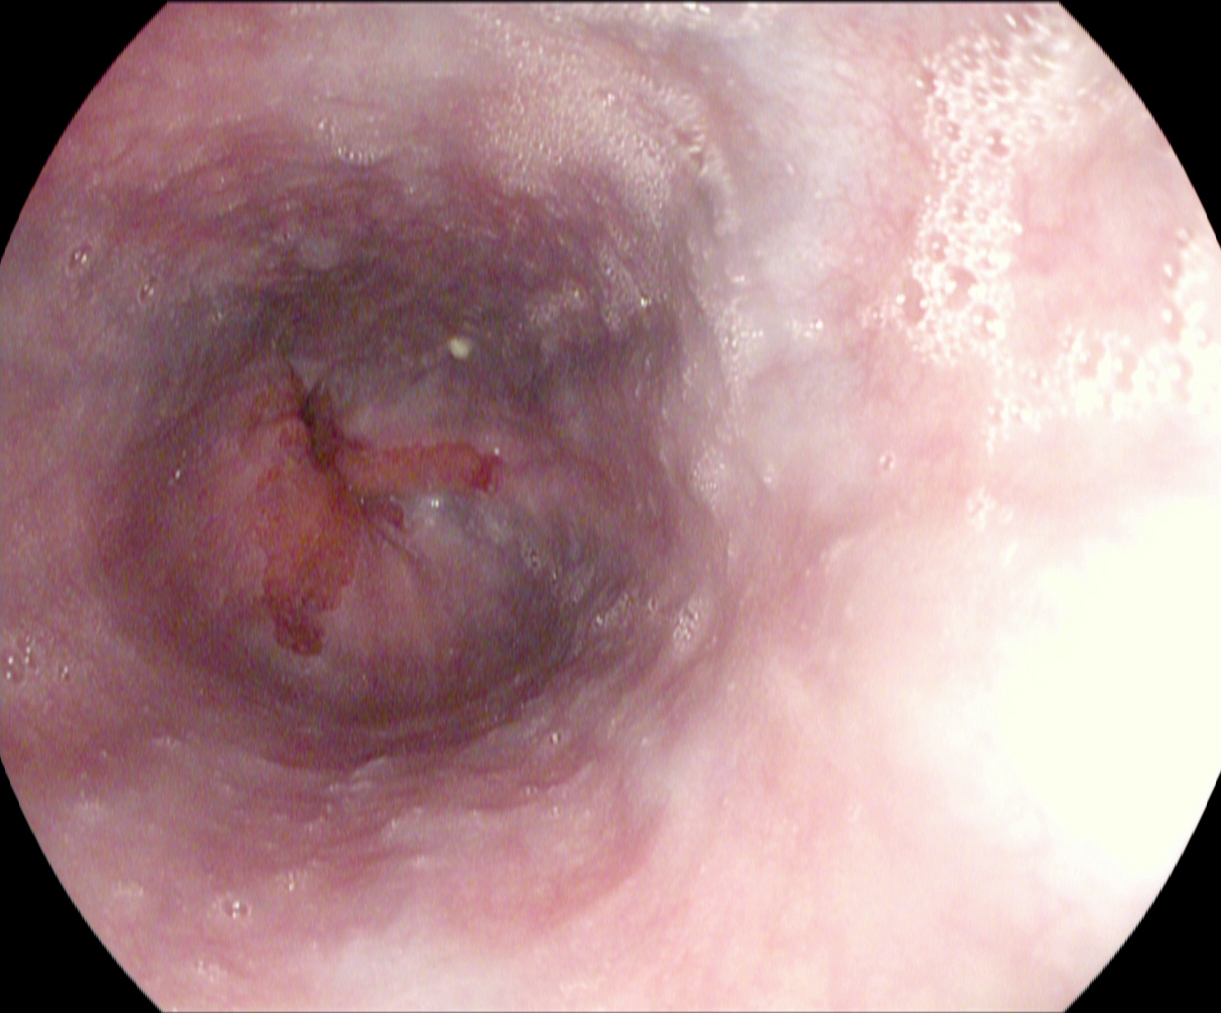Esophagogastroduodenoscopy. Tract: upper GI tract. Pathological finding. Finding: reflux esophagitis, Los Angeles grade A.